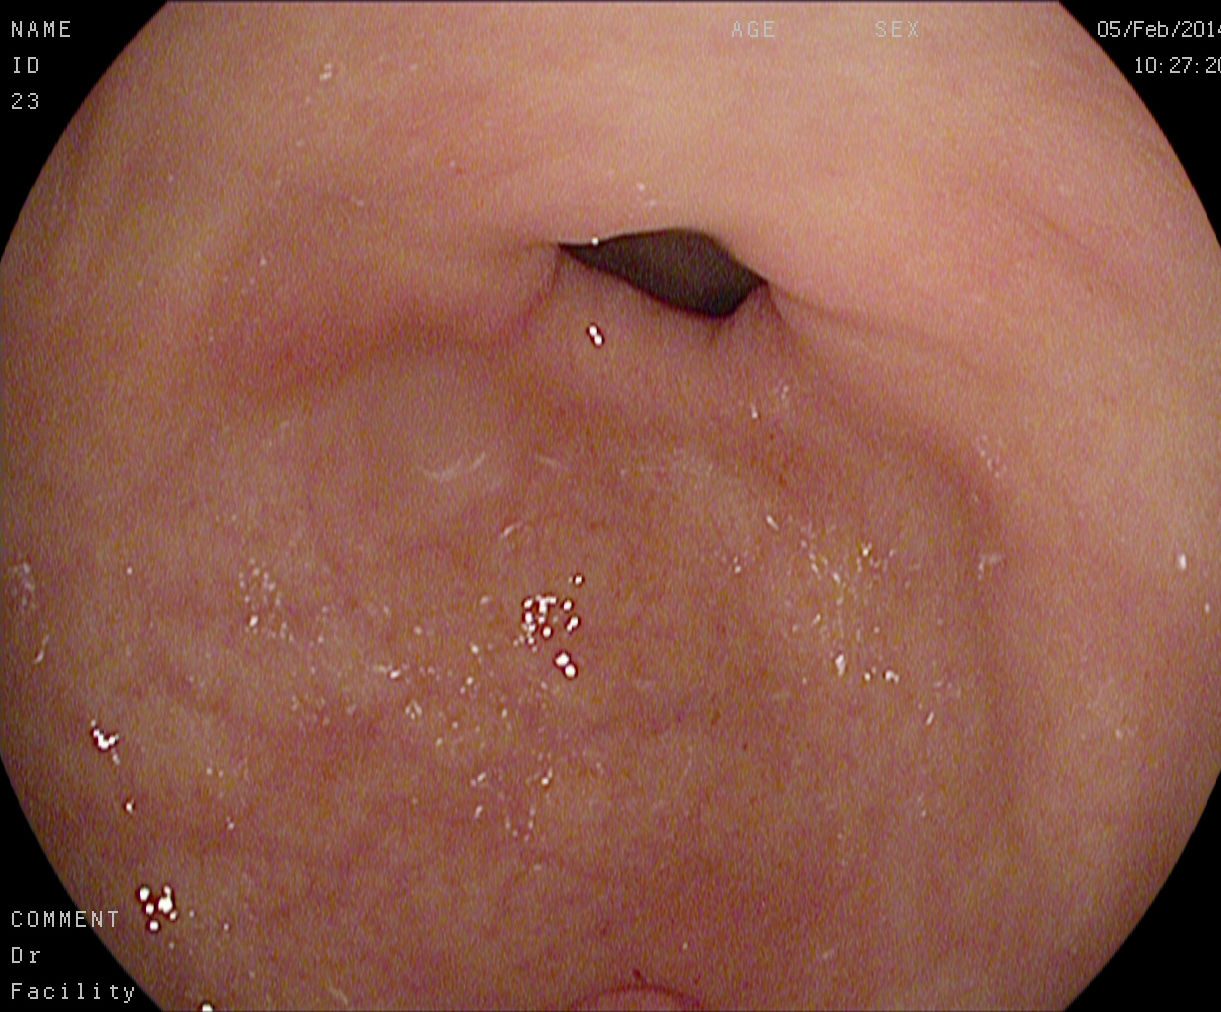{"modality": "EGD", "tract": "upper GI tract", "finding": "pylorus"}